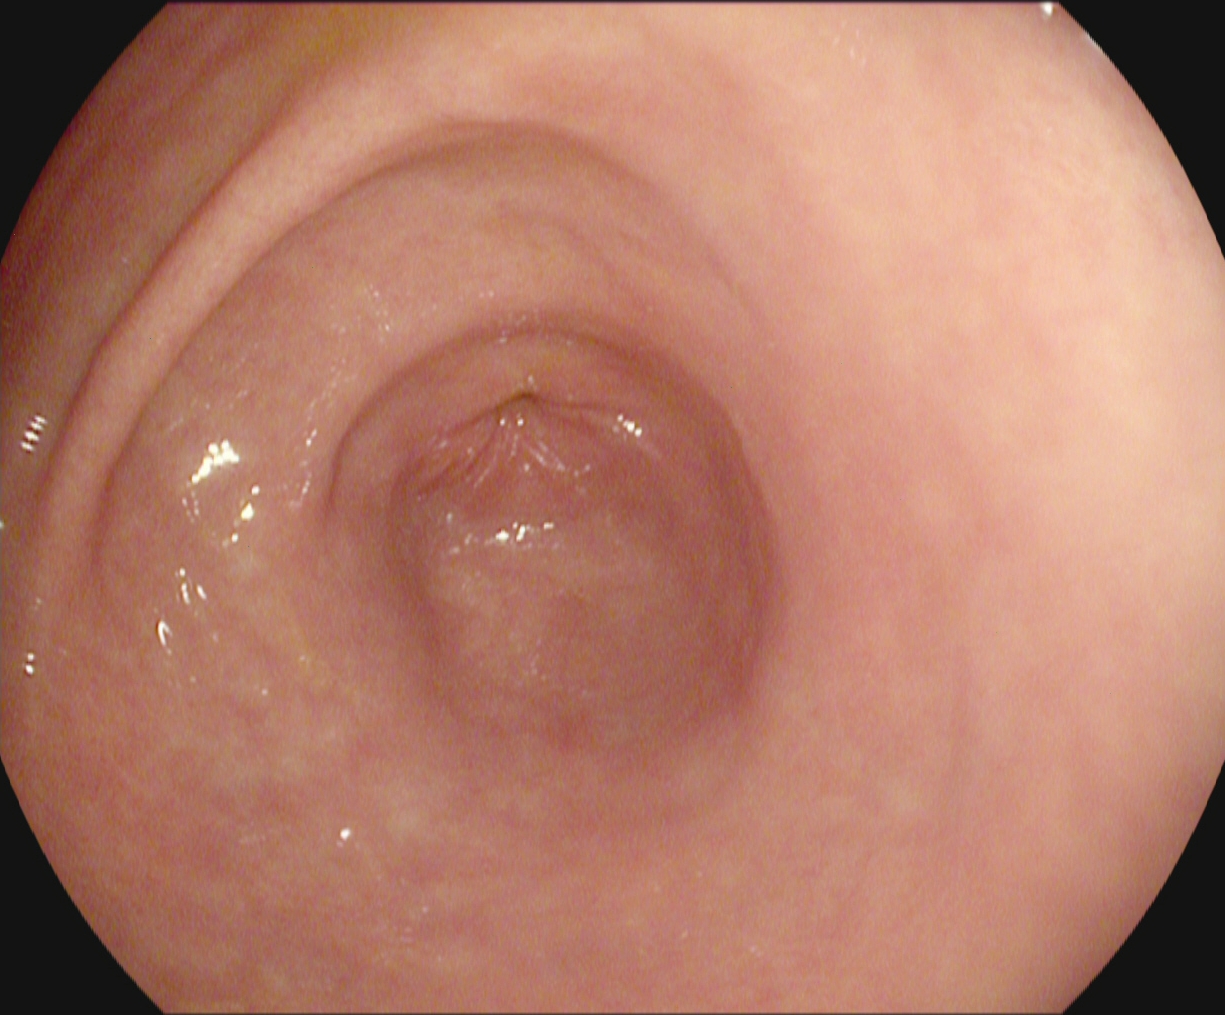modality: esophagogastroduodenoscopy; tract: upper GI tract; finding: pylorus